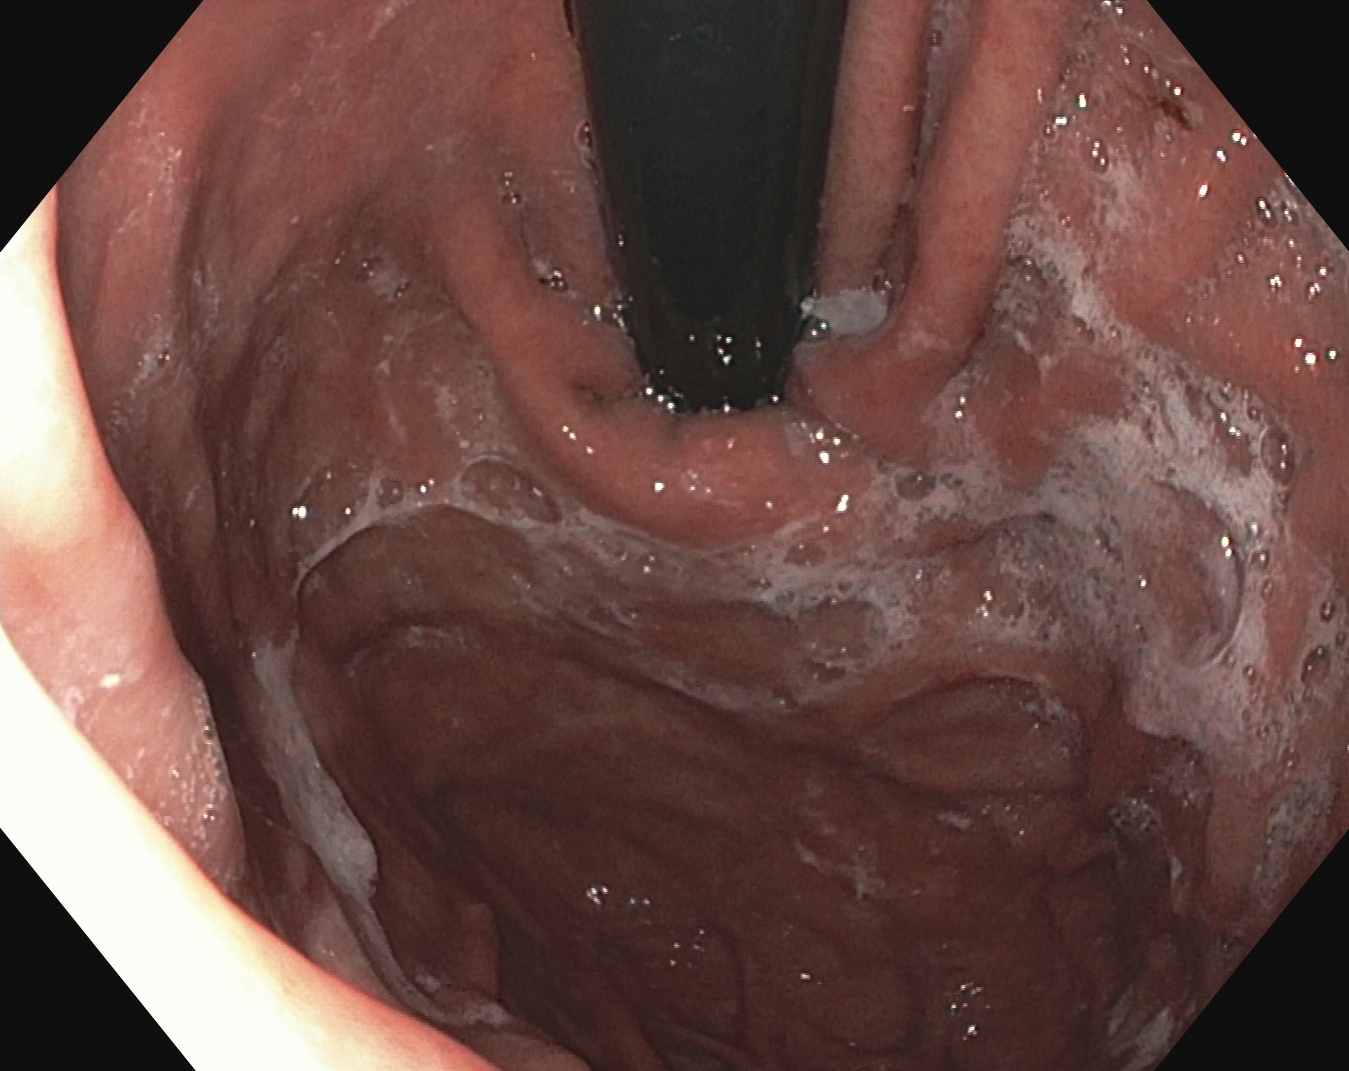Endoscopy image of the upper GI tract showing stomach in retroflexion.